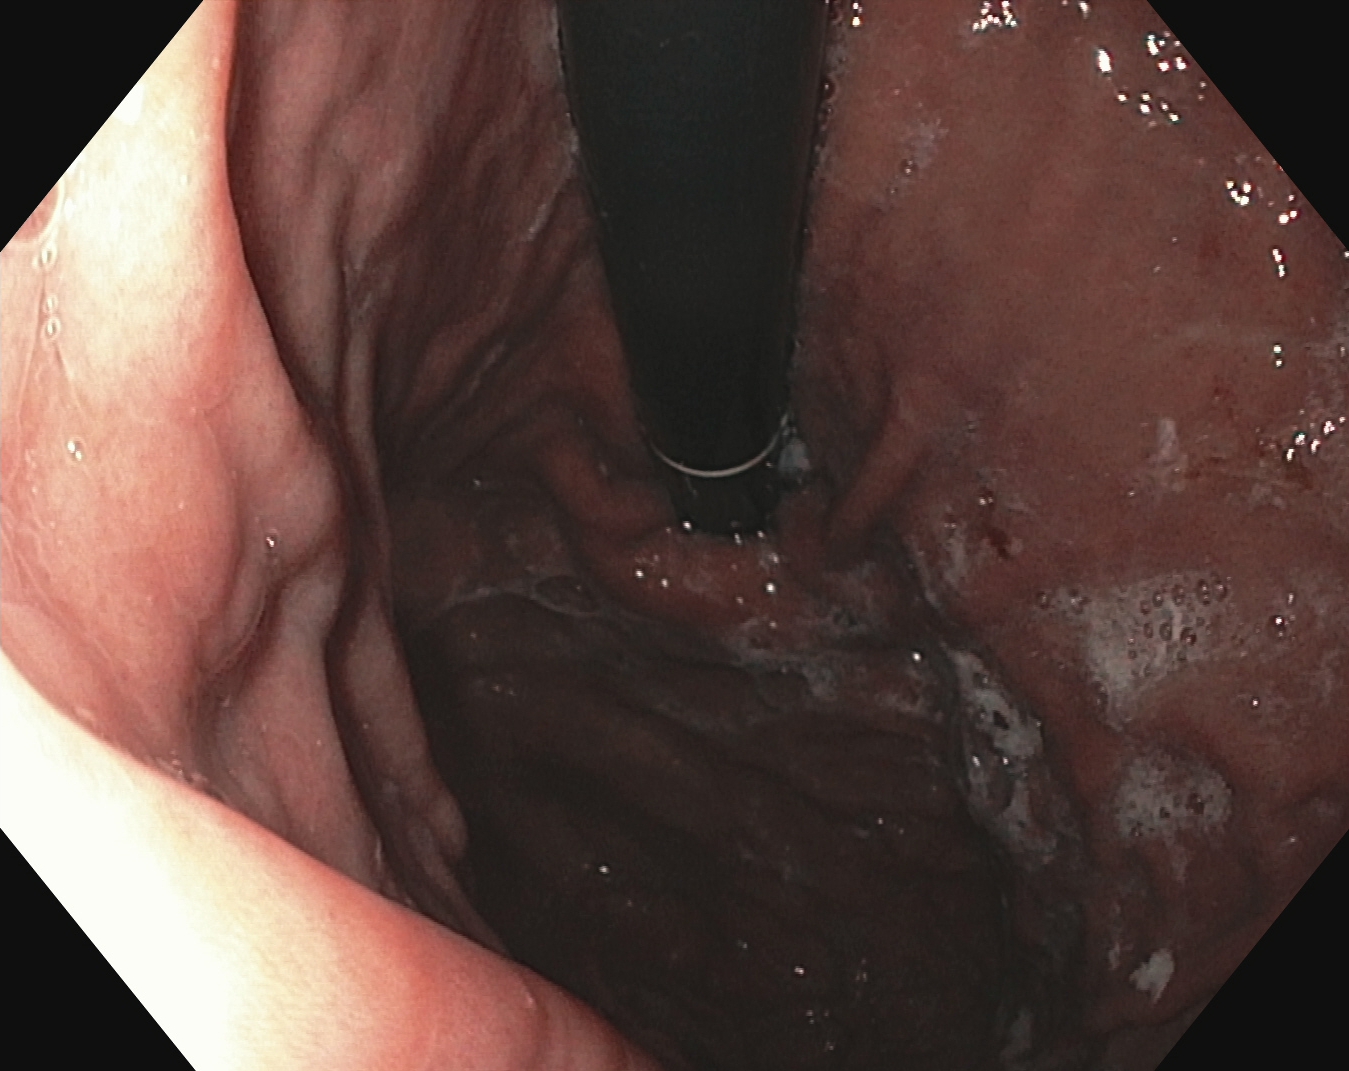stomach in retroflexion.